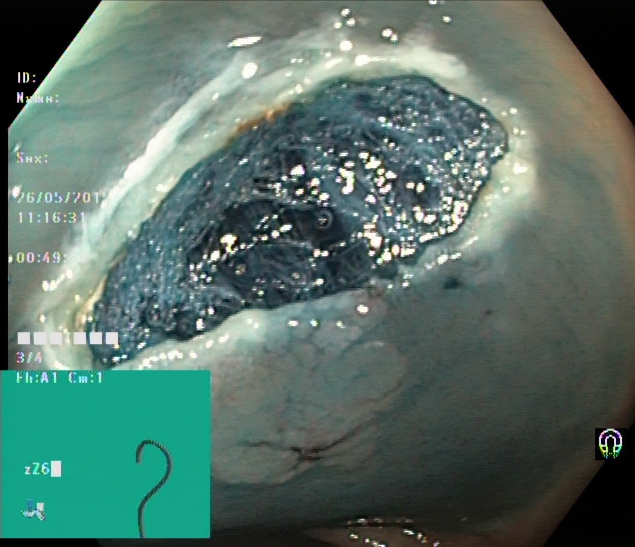Endoscopic frame of the lower GI tract showing dyed resection margins (post-polypectomy).